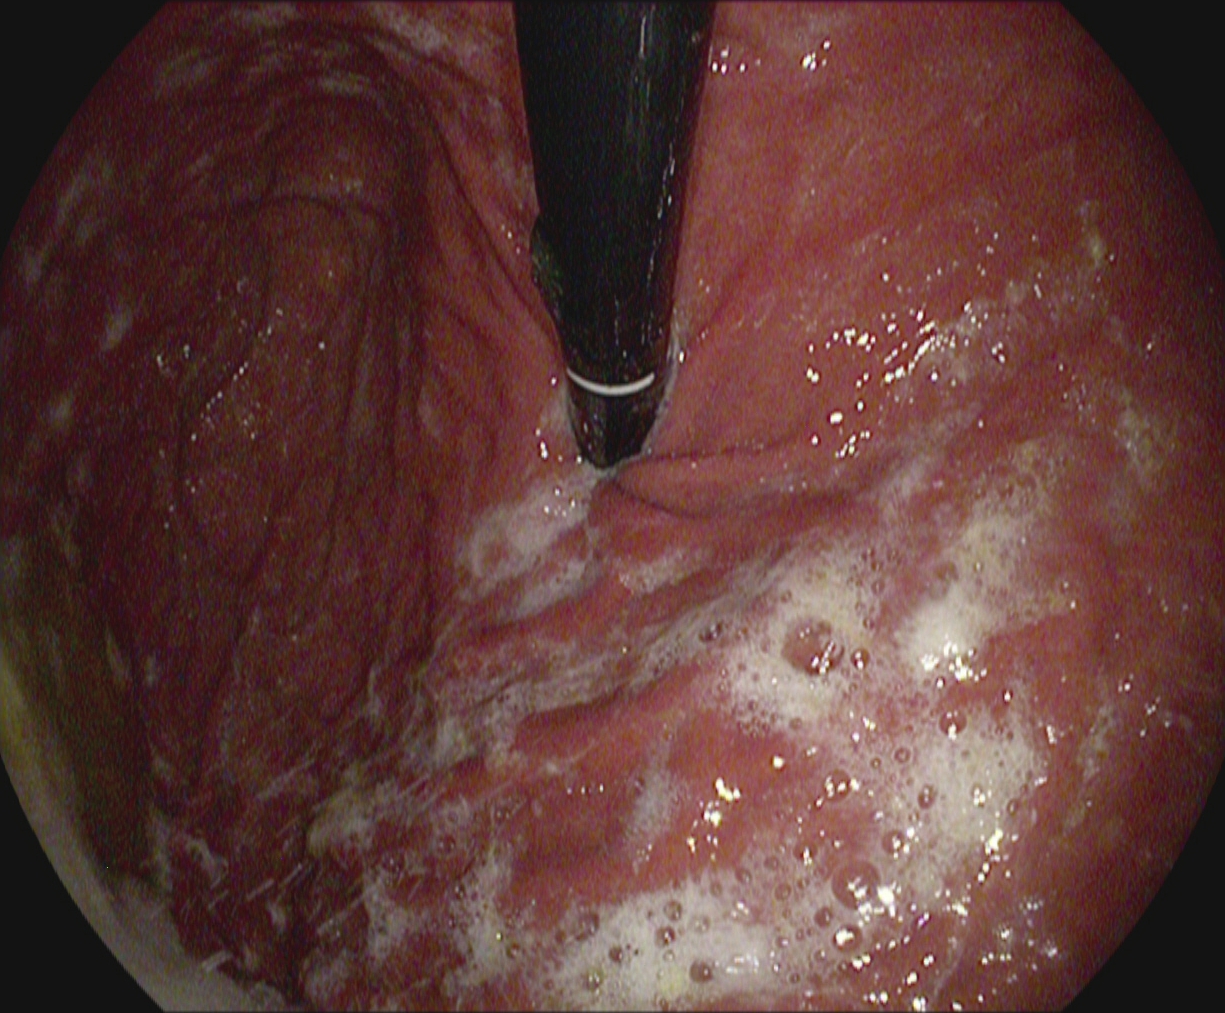This endoscopic image shows stomach in retroflexion.